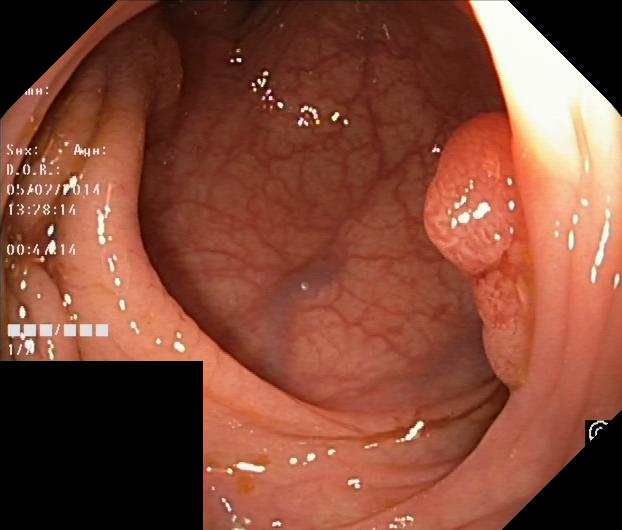Endoscopy image of the lower GI tract showing colorectal polyp(s).